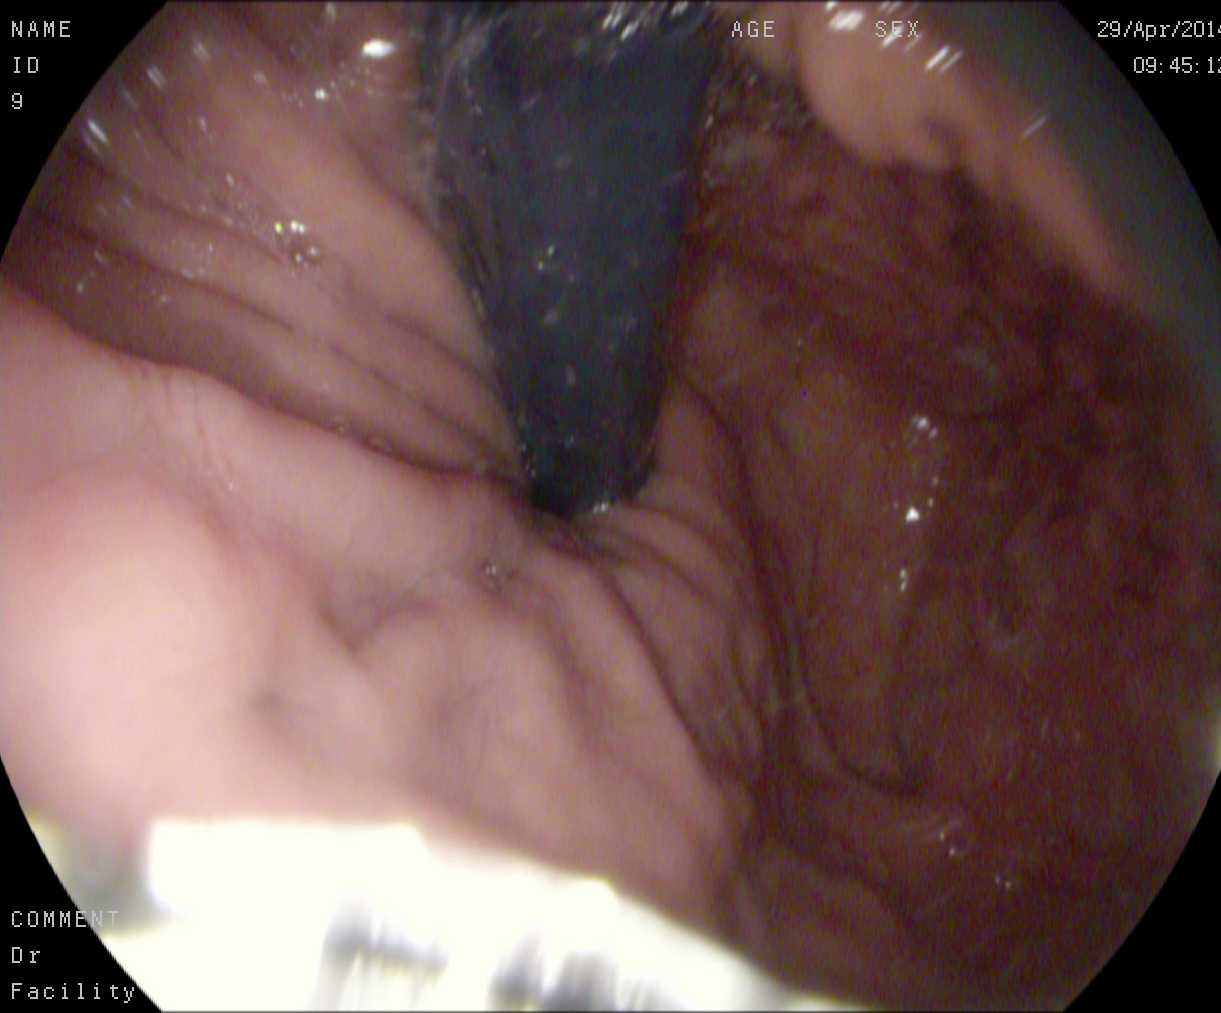stomach in retroflexion.